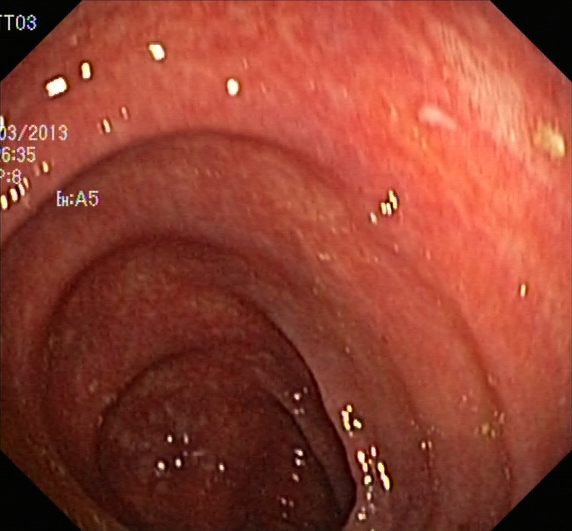UC, Mayo endoscopic subscore 1.